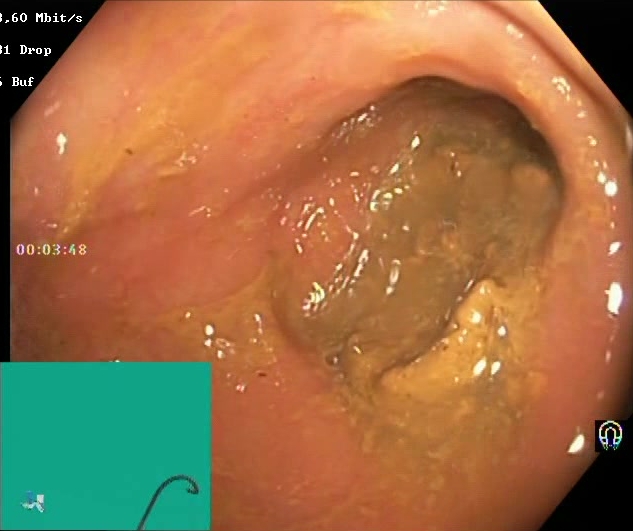modality: lower gastrointestinal endoscopy; category: mucosal-view quality; finding: Boston Bowel Preparation Scale score 0–1 (inadequate preparation)